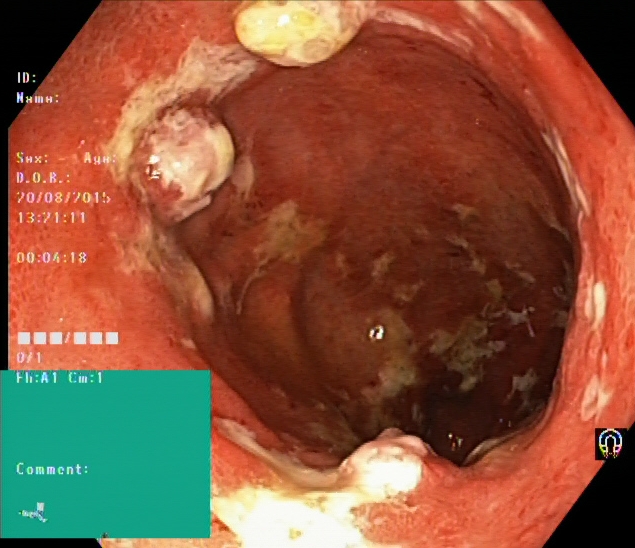This endoscopy frame of the lower GI tract shows ulcerative colitis, Mayo endoscopic subscore 3.